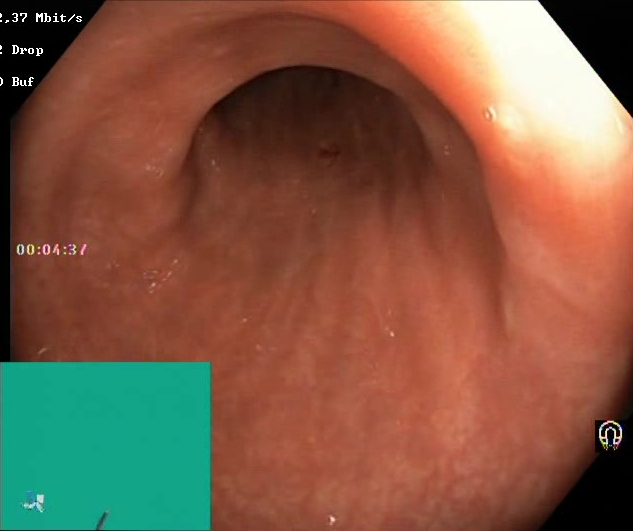Boston Bowel Preparation Scale score 2–3 (adequate preparation).